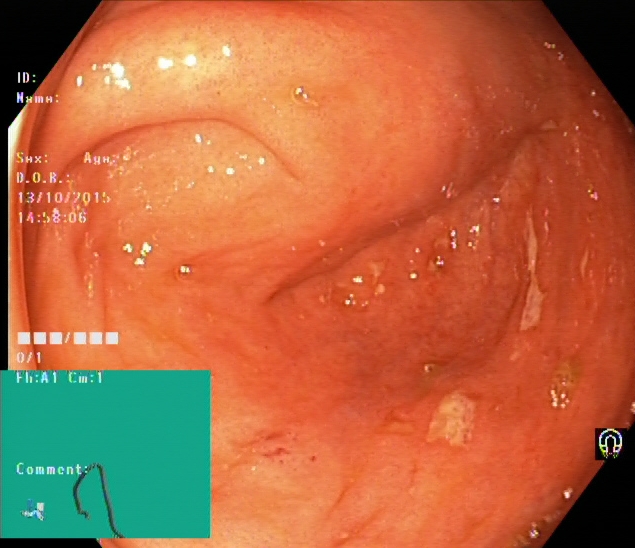{"modality": "lower gastrointestinal endoscopy", "tract": "lower GI tract", "category": "anatomical landmark", "finding": "cecum"}